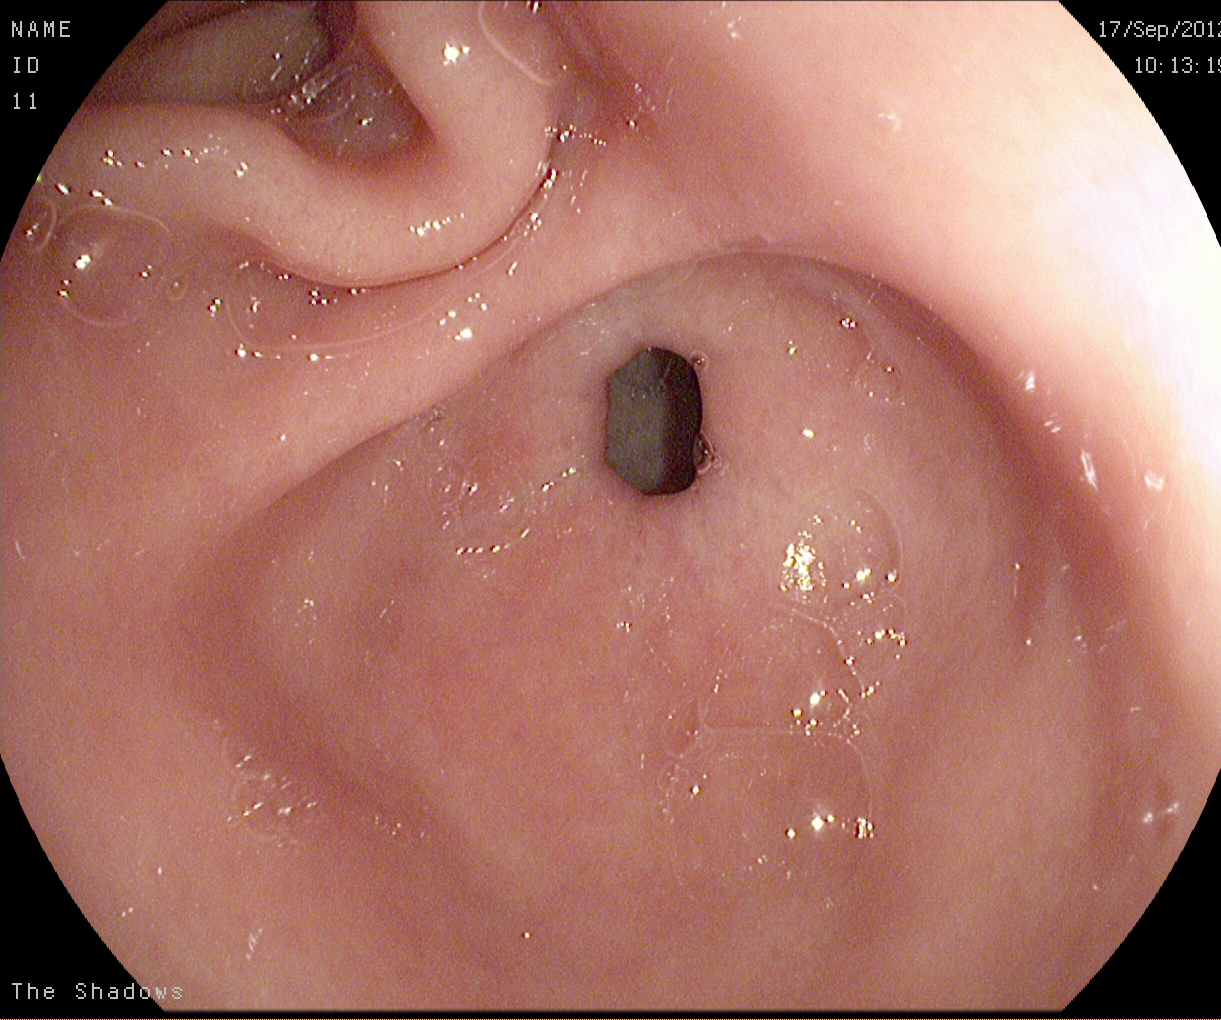modality: gastroscopy | category: anatomical landmark | finding: pylorus